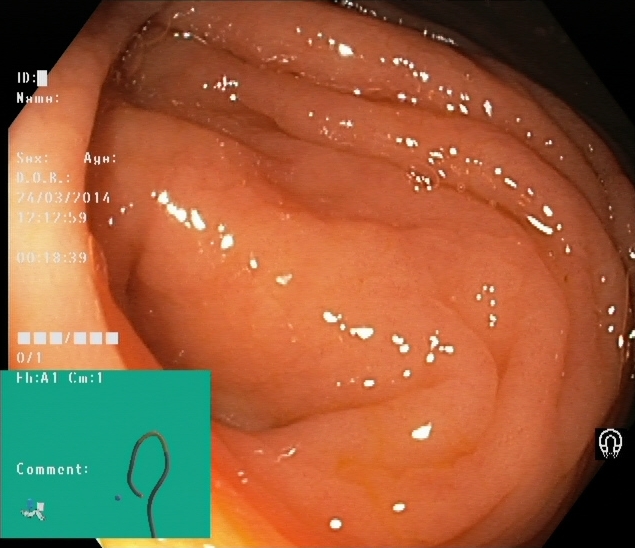{"modality": "lower-GI endoscopy", "finding": "cecum"}